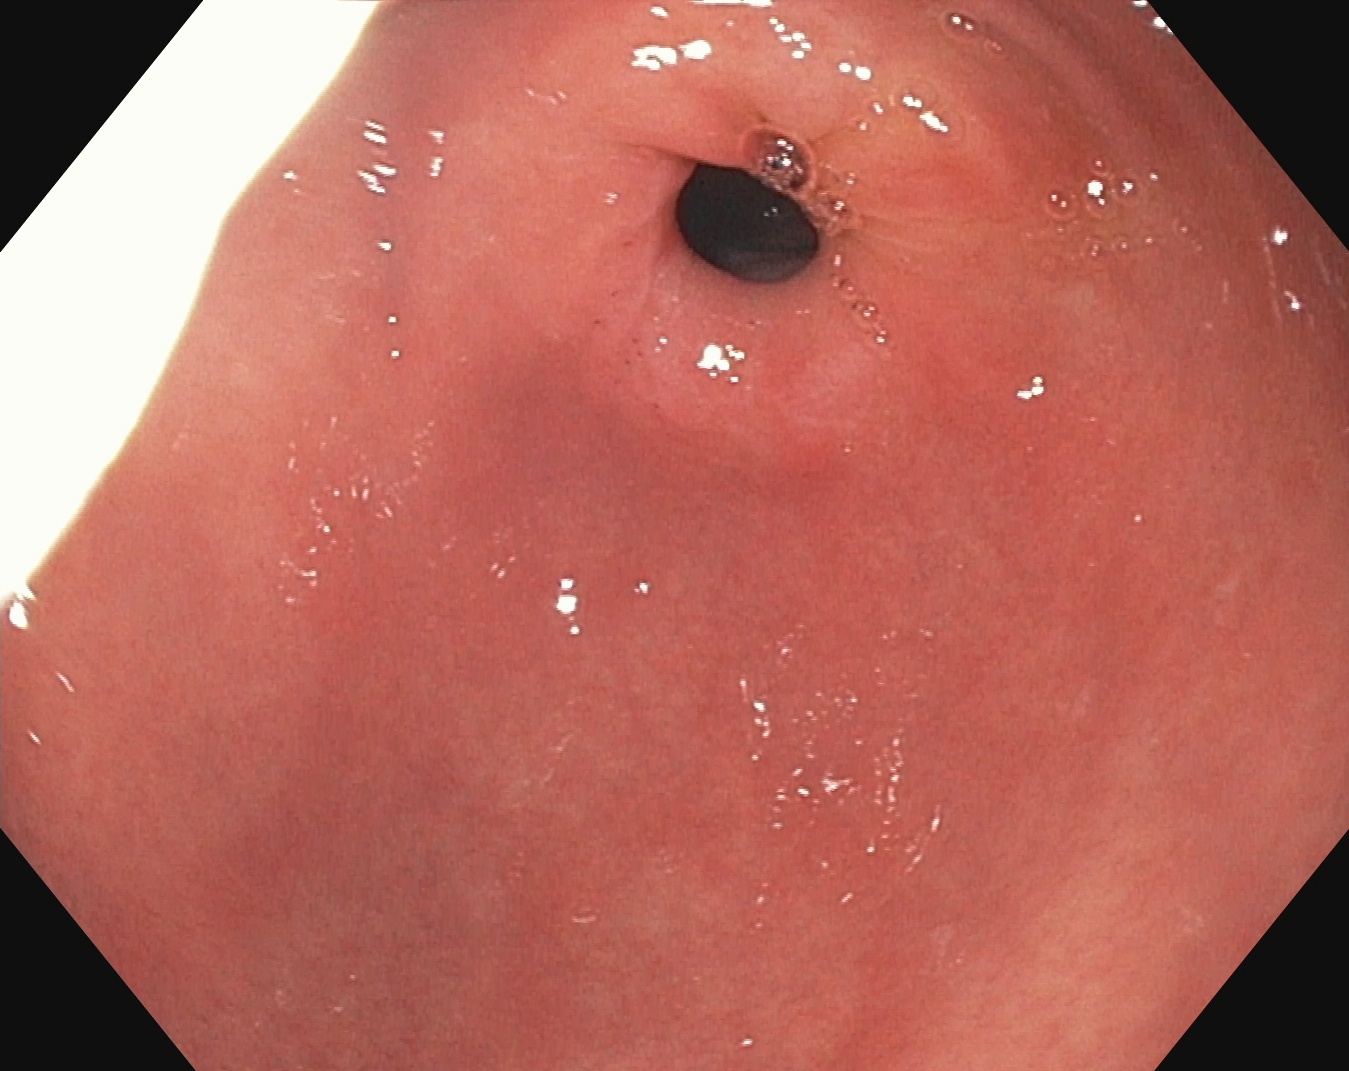modality: gastroscopy | tract: upper GI tract | finding: pylorus